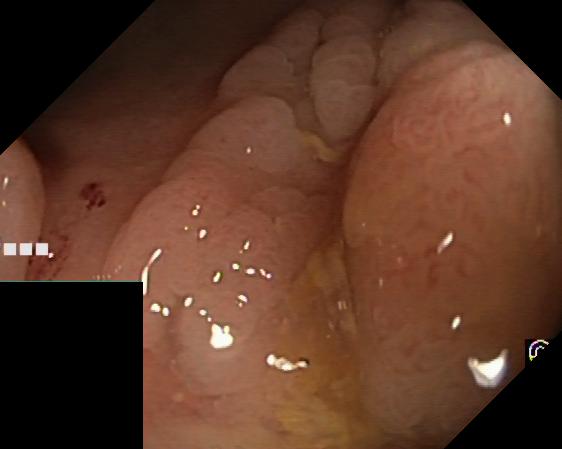GI endoscopy image of the lower GI tract showing colorectal polyp(s).